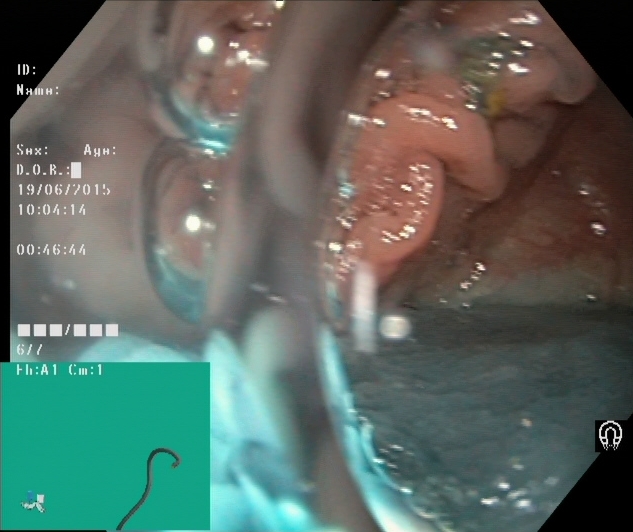PROCEDURE: Colonoscopy.
FINDINGS: Dyed resection margins (post-polypectomy).